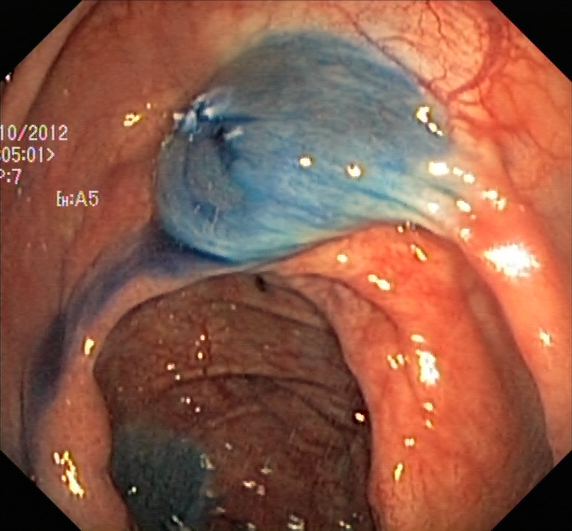PROCEDURE: Colonoscopy.
FINDINGS: Dyed resection margins (post-polypectomy).